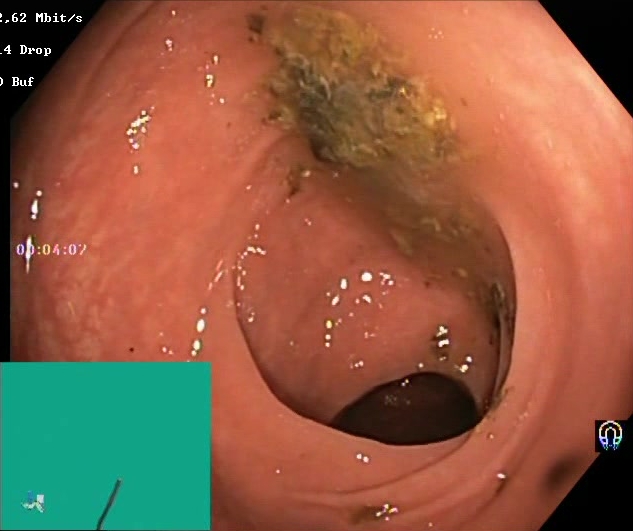{"modality": "colonoscopy", "tract": "lower GI tract", "finding": "BBPS score 0\u20131 (inadequate preparation)"}